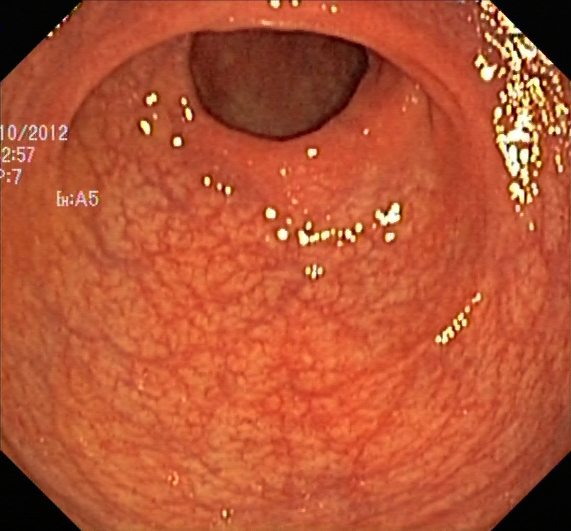UC, Mayo endoscopic subscore 0–1.